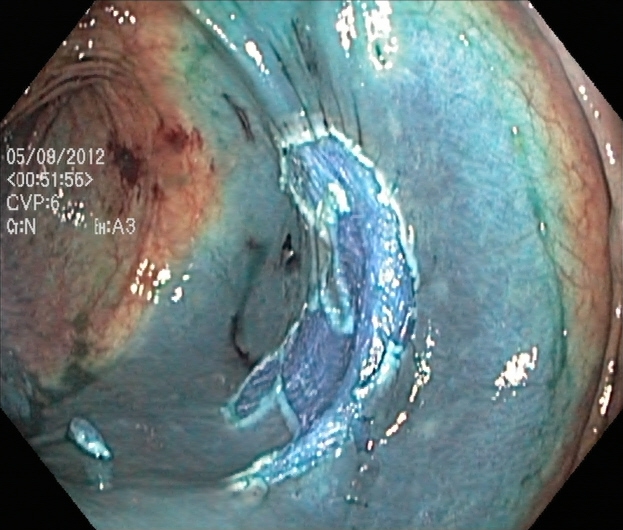Lower gastrointestinal endoscopy. Tract: lower GI tract. Finding: dyed resection margins (post-polypectomy).